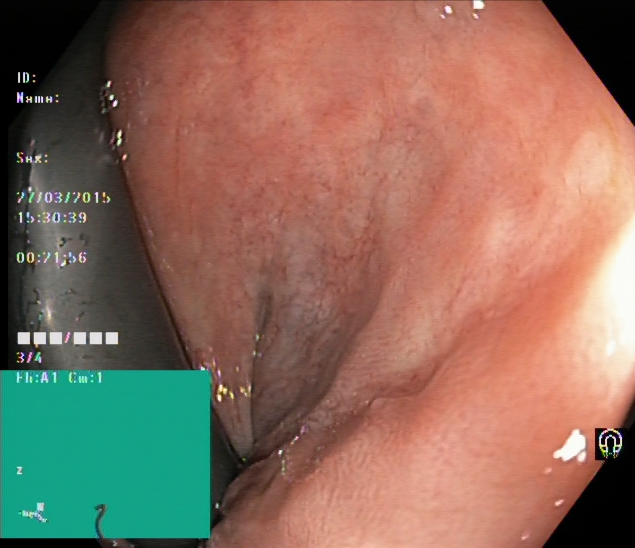Colonoscopy. Anatomical landmark. Finding: rectum in retroflexion.